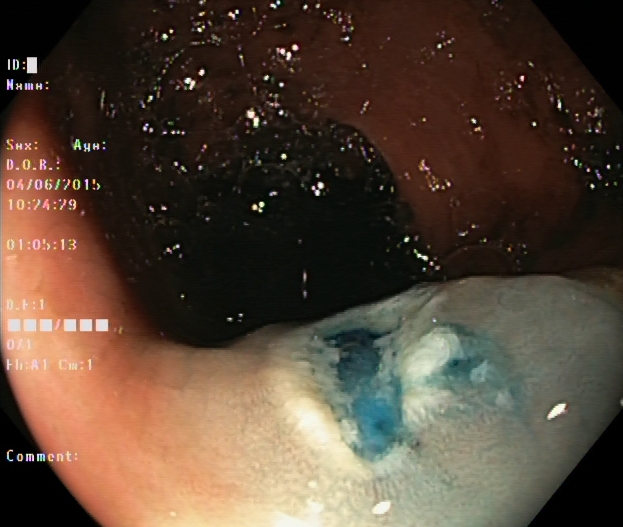PROCEDURE: Lower-GI endoscopy.
FINDINGS: Dyed resection margins (post-polypectomy).